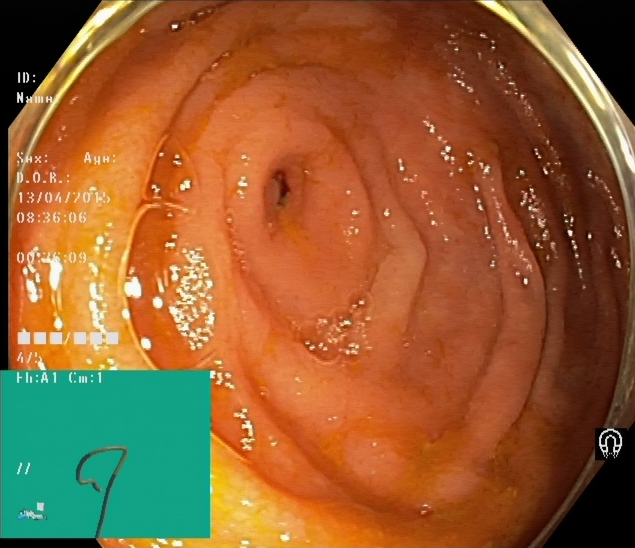This endoscopy frame shows cecum.